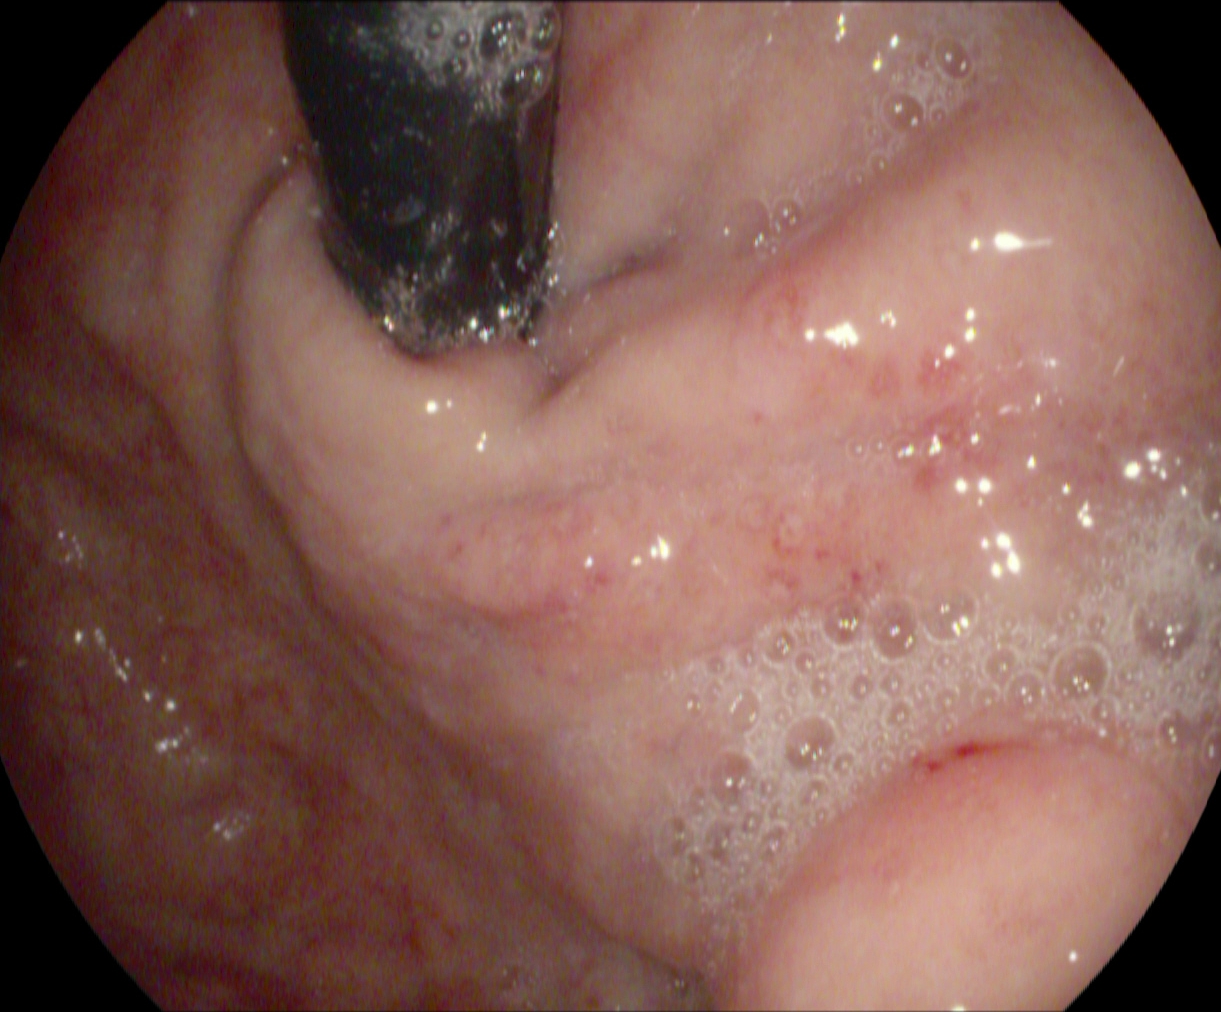modality: upper-GI endoscopy | tract: upper GI tract | category: anatomical landmark | finding: stomach in retroflexion